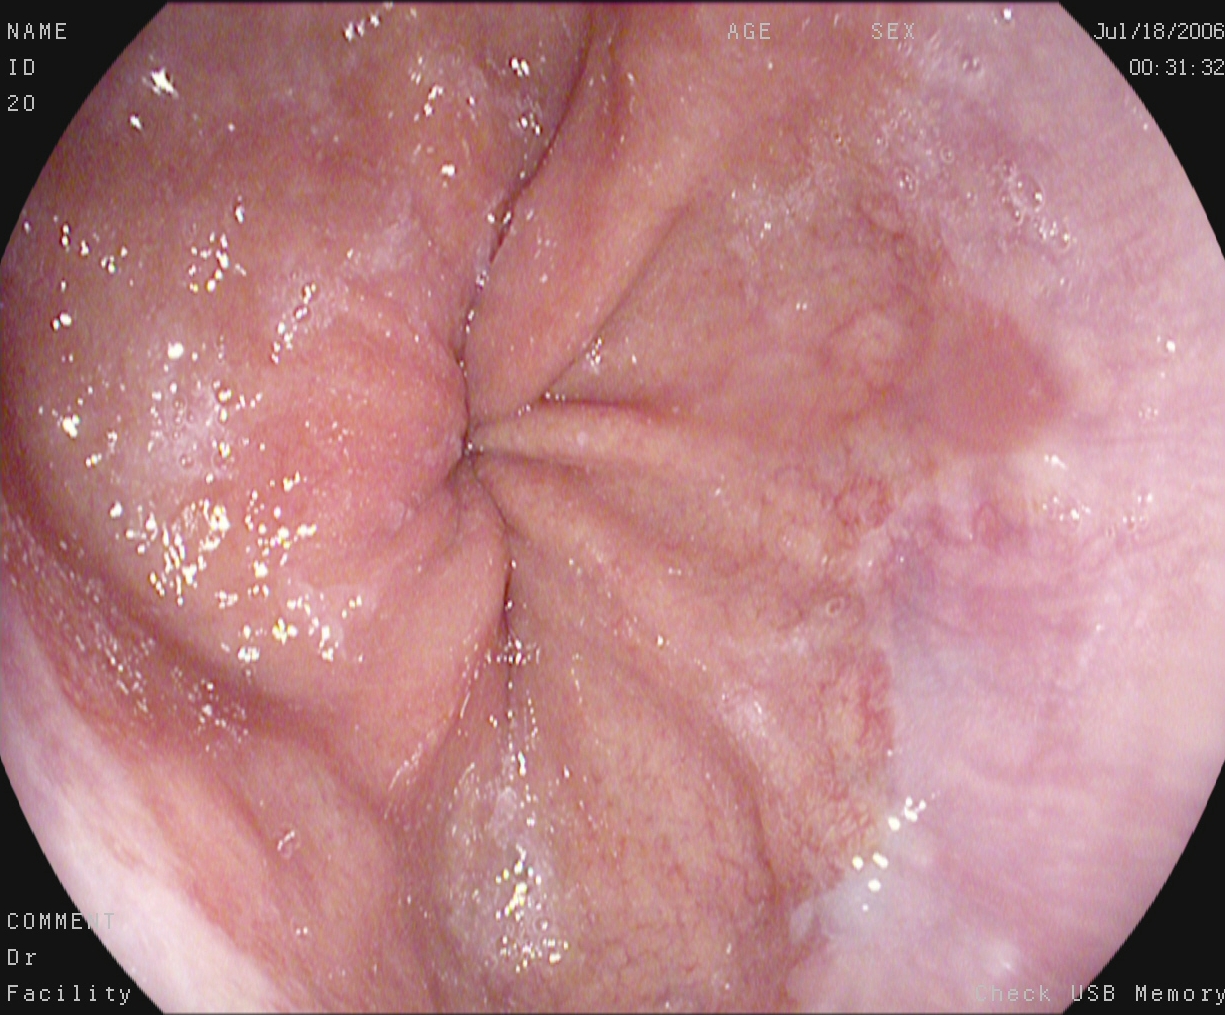EGD. Tract: upper GI tract. Finding: Z-line (gastroesophageal junction).